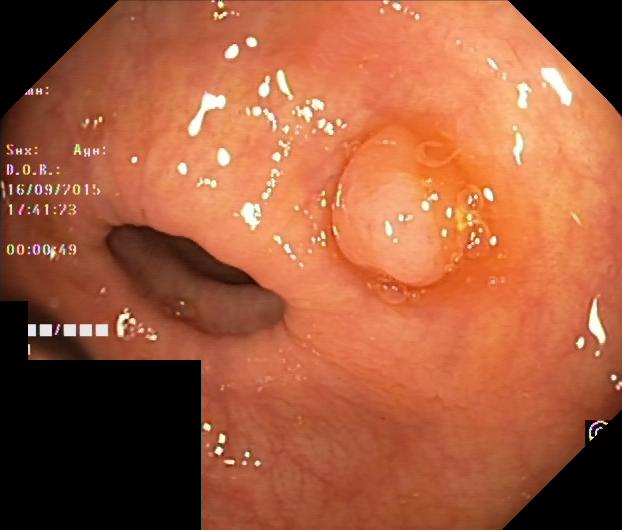This endoscopic image shows colorectal polyp(s).